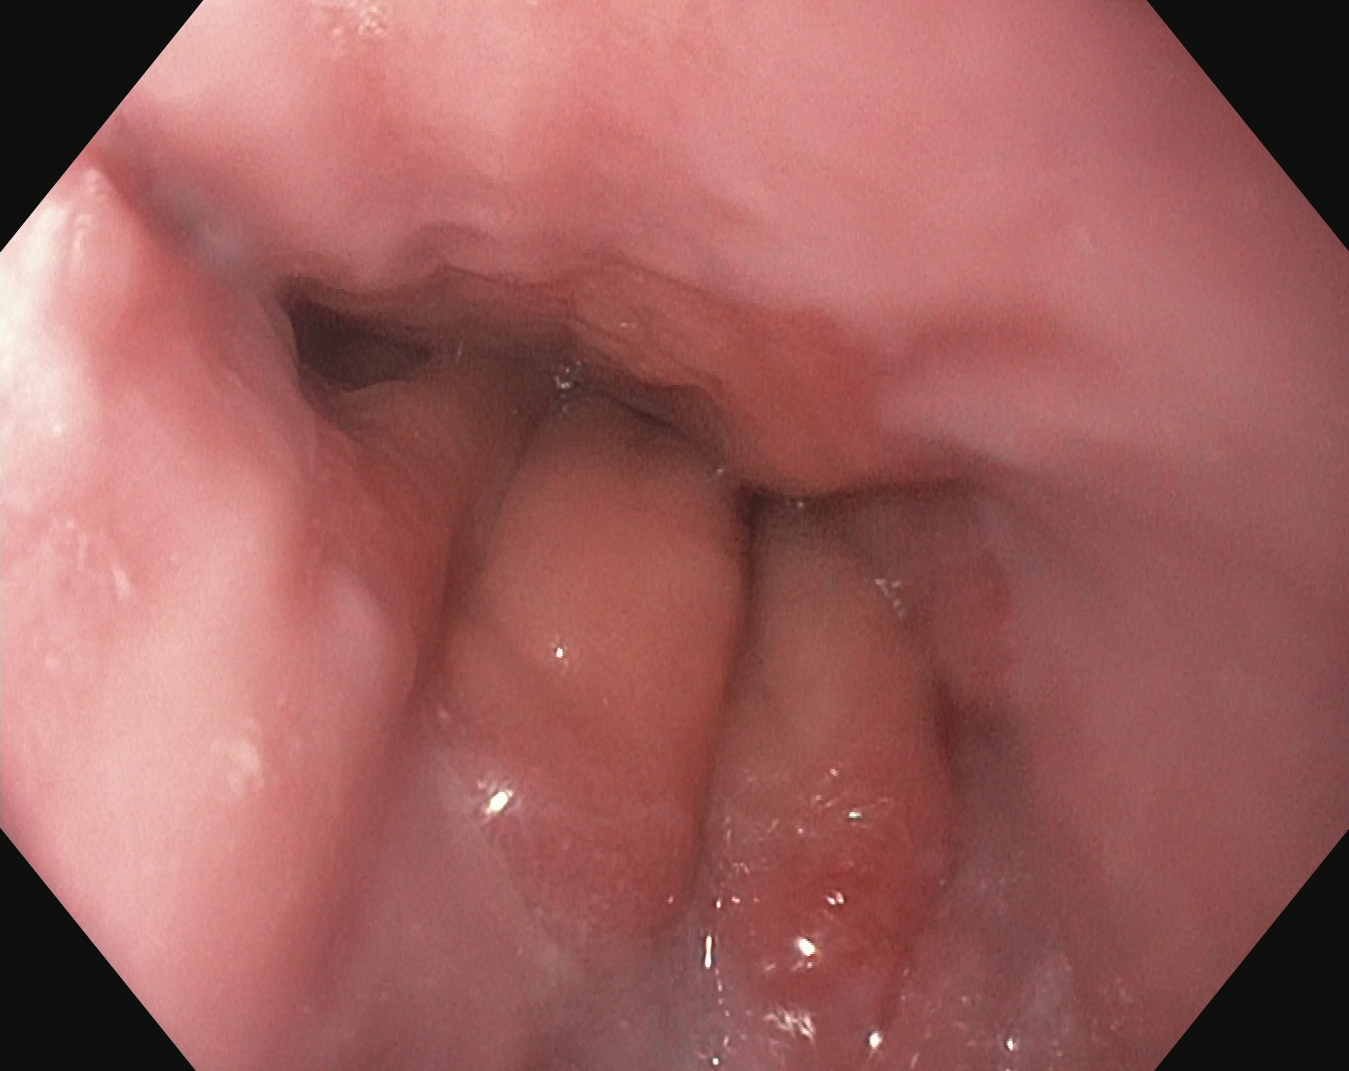Gastroscopy. Finding: reflux esophagitis, Los Angeles grade A.